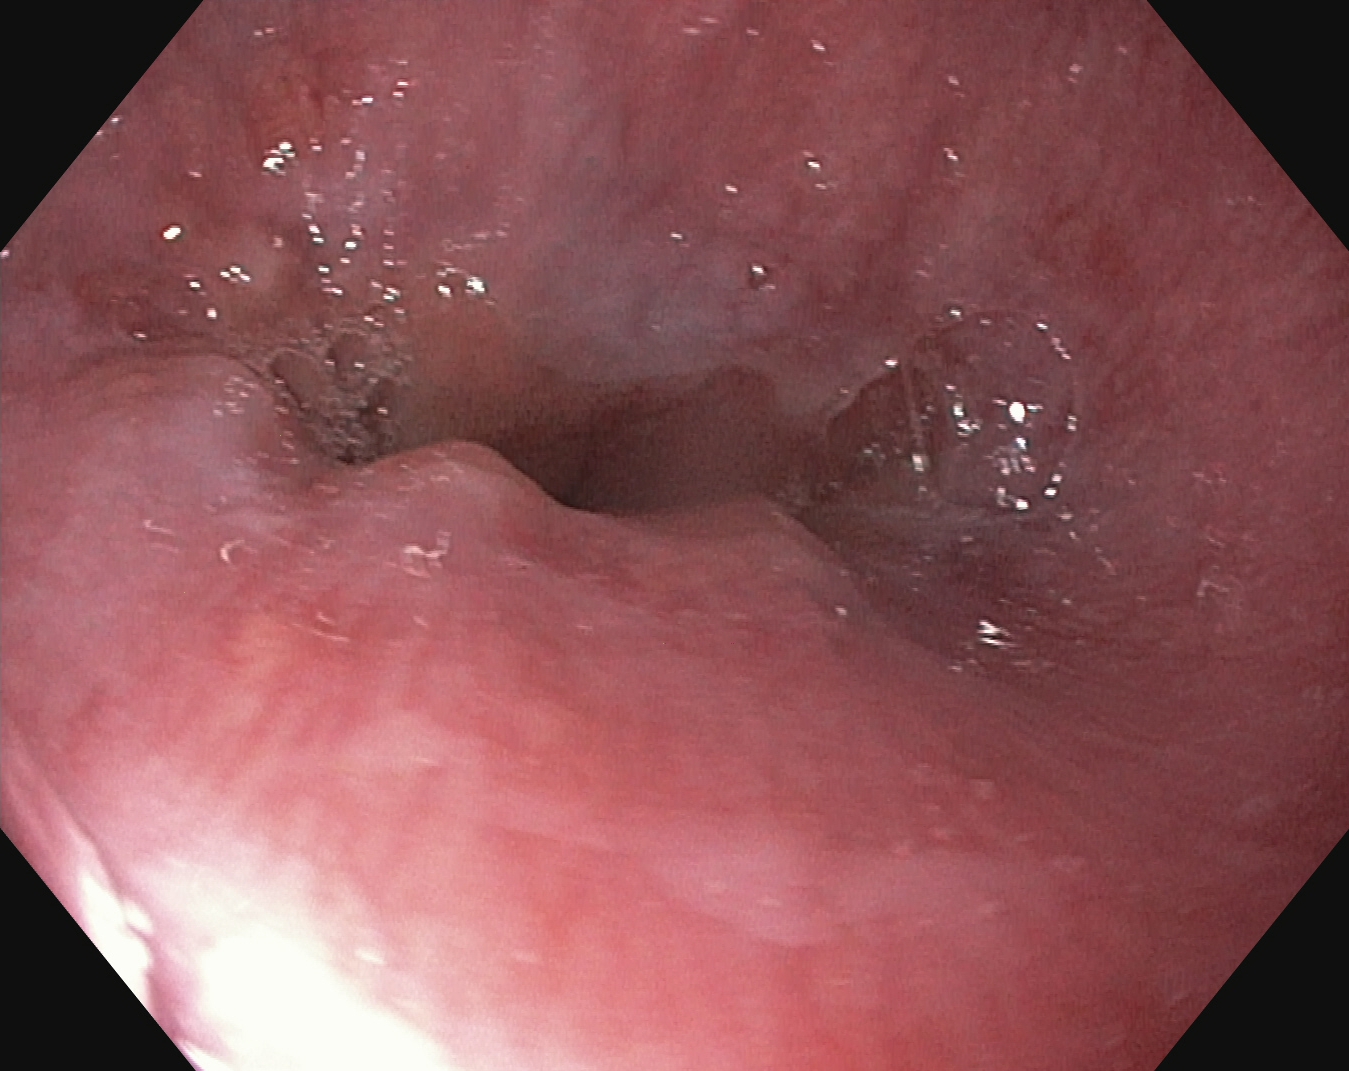This endoscopy frame of the upper GI tract shows Z-line (gastroesophageal junction).